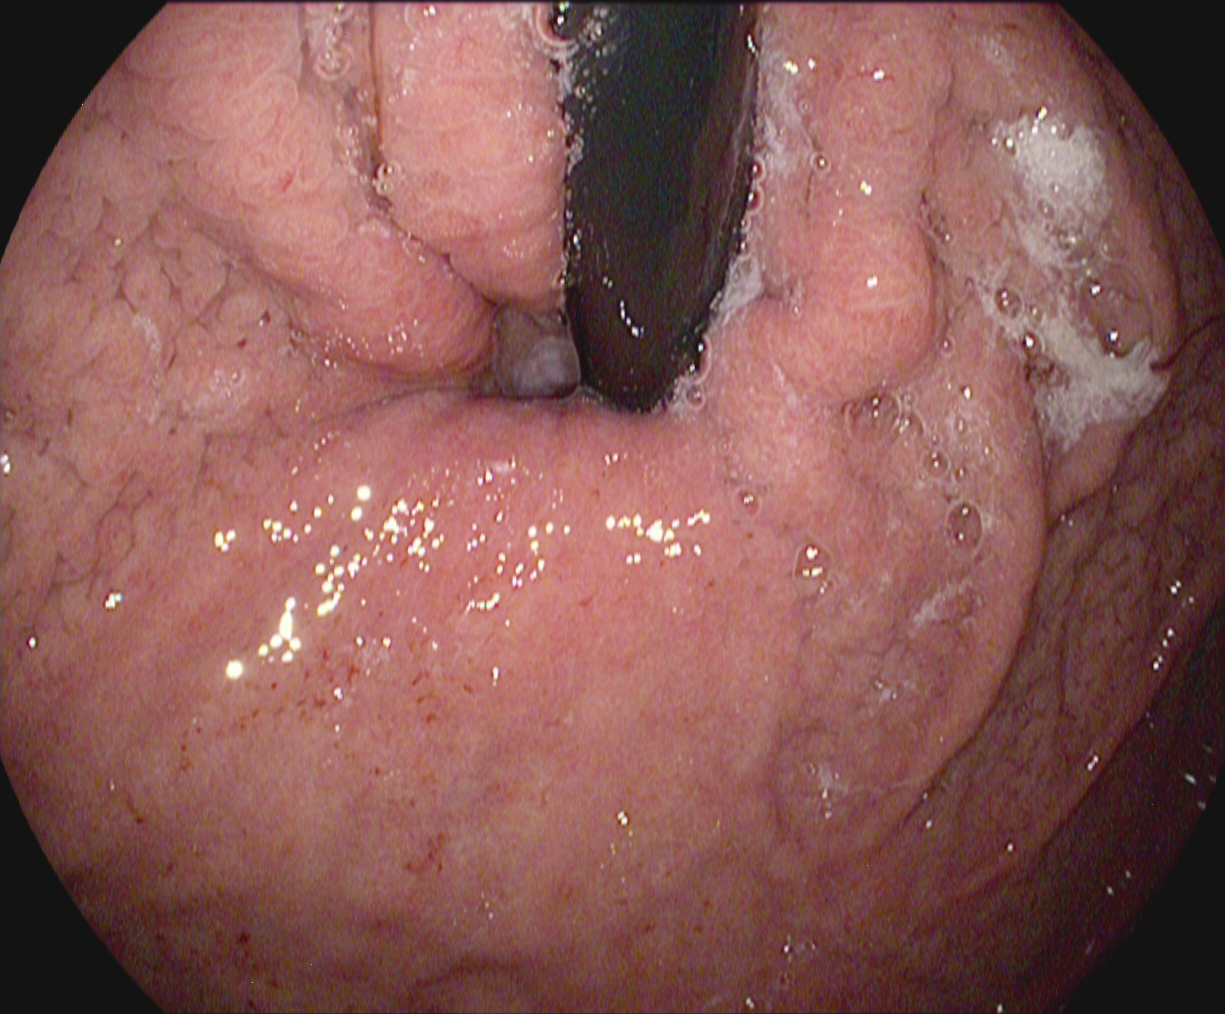{"modality": "esophagogastroduodenoscopy", "tract": "upper GI tract", "category": "anatomical landmark", "finding": "stomach in retroflexion"}